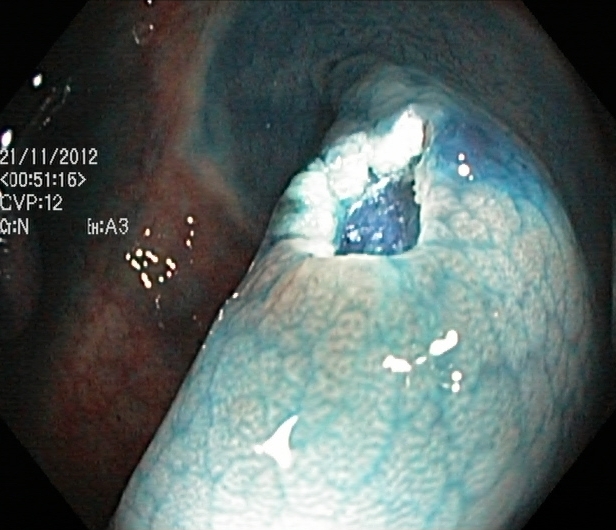Dyed resection margins (post-polypectomy).